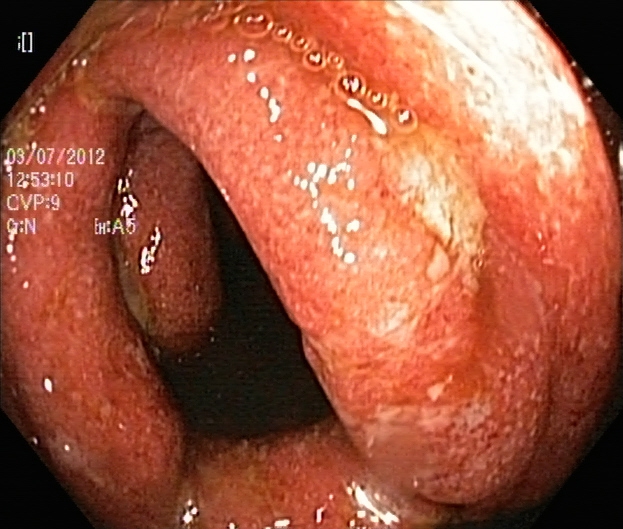Colonoscopy. Finding: ulcerative colitis, Mayo endoscopic subscore 2.